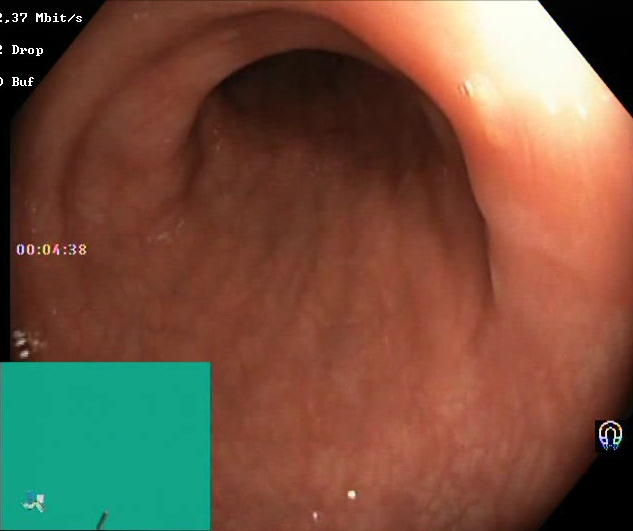Lower-GI endoscopy. Tract: lower GI tract. Finding: BBPS score 2–3 (adequate preparation).